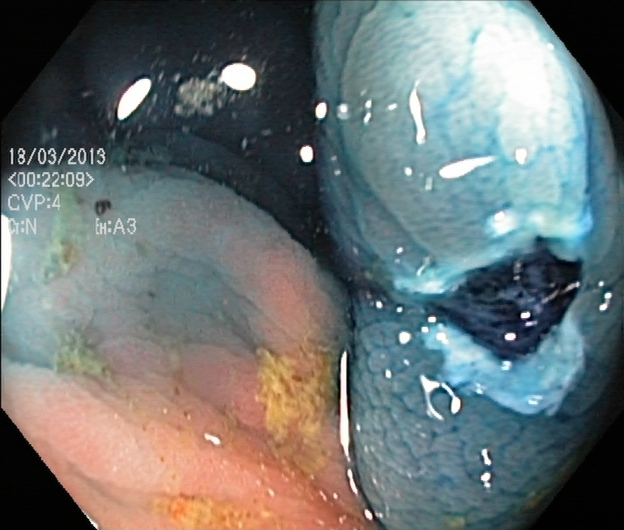Lower gastrointestinal endoscopy. Tract: lower GI tract. Finding: dyed resection margins (post-polypectomy).